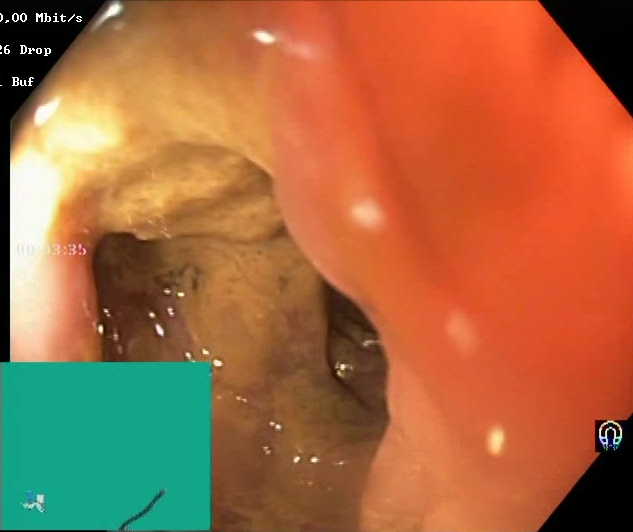Lower gastrointestinal endoscopy image of the lower GI tract showing Boston Bowel Preparation Scale score 0–1 (inadequate preparation).